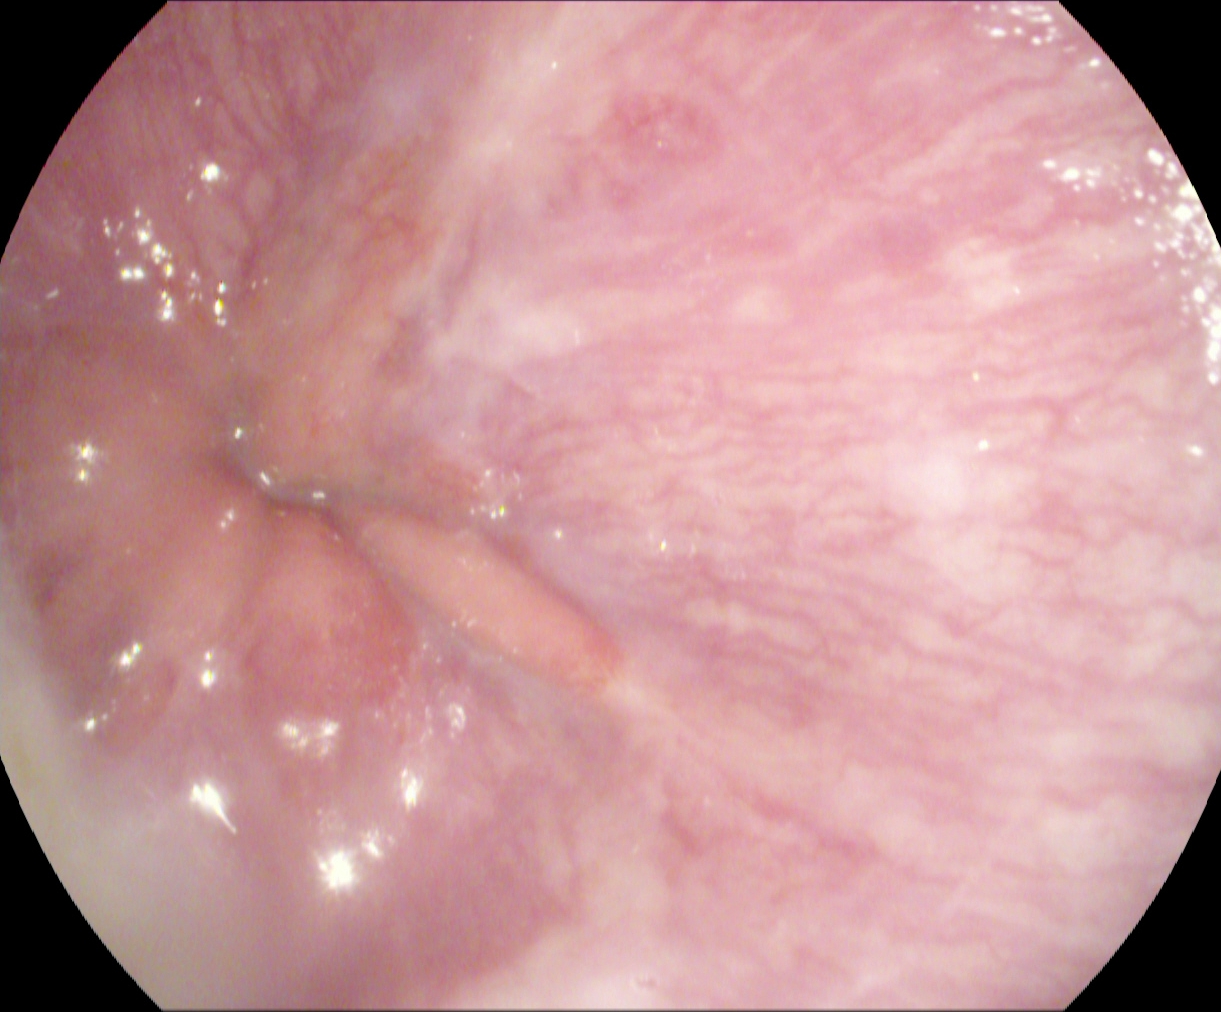Endoscopic frame of the upper GI tract showing Z-line (gastroesophageal junction).